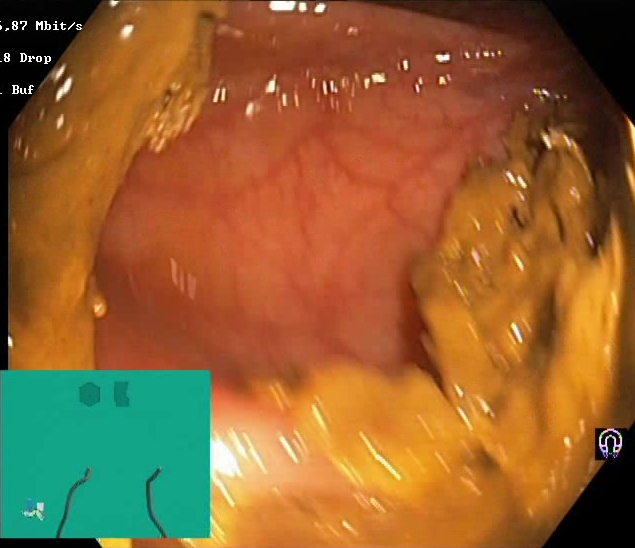Boston Bowel Preparation Scale score 0–1 (inadequate preparation).